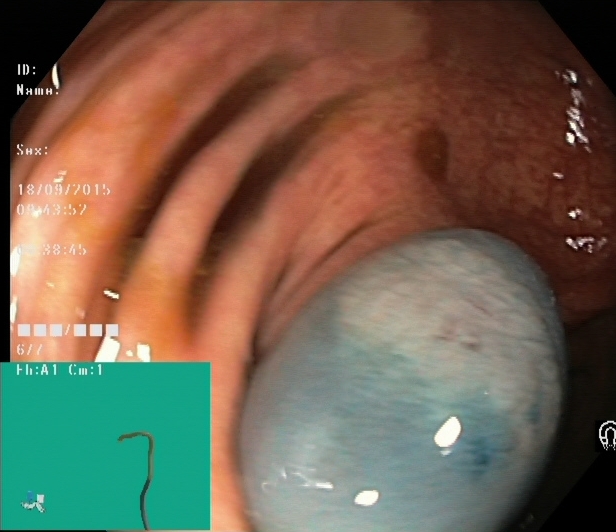modality: lower-GI endoscopy | tract: lower GI tract | category: therapeutic intervention | finding: dyed and lifted polyp (pre-resection)